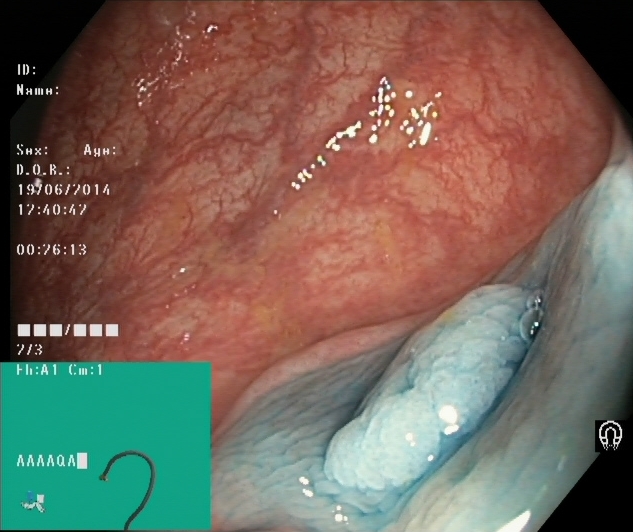Lower gastrointestinal endoscopy — dyed and lifted polyp (pre-resection).